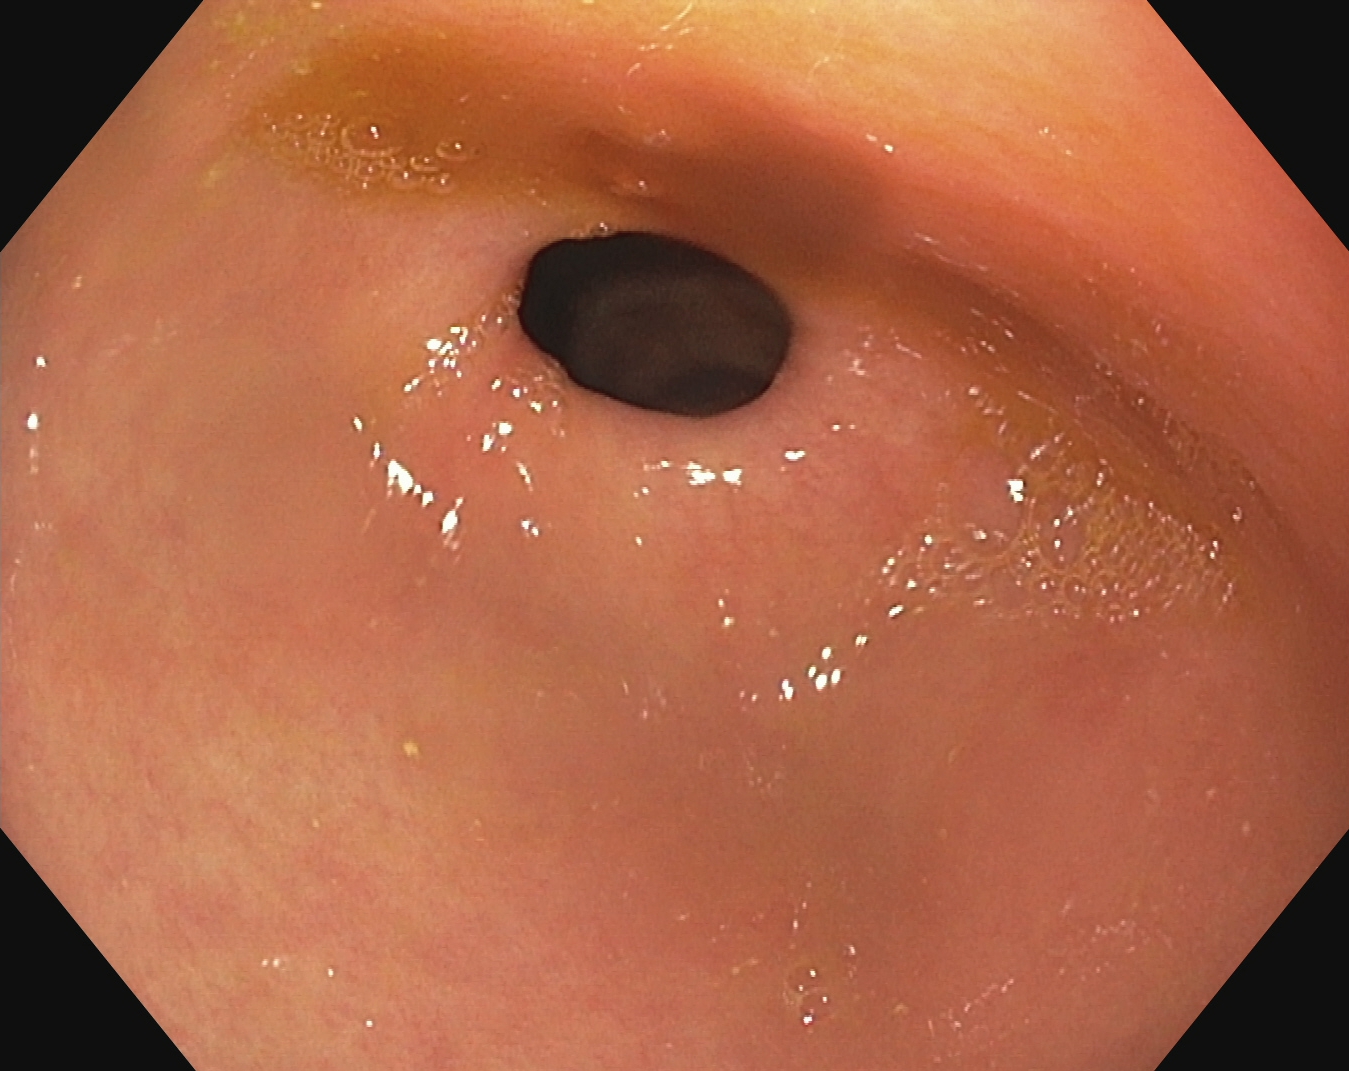EGD. Anatomical landmark. Finding: pylorus.